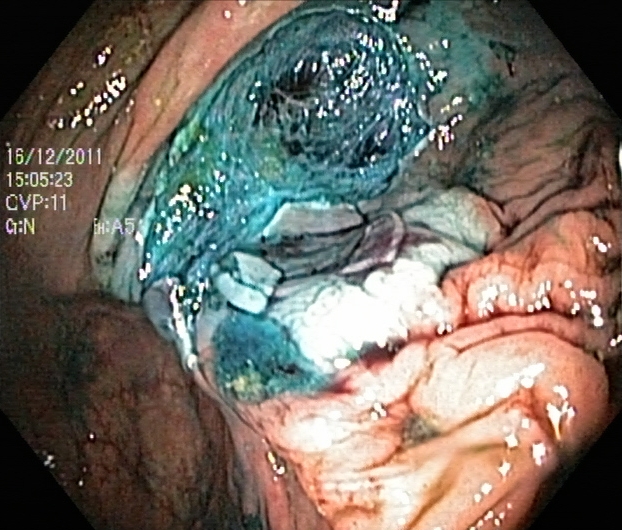Dyed resection margins (post-polypectomy).